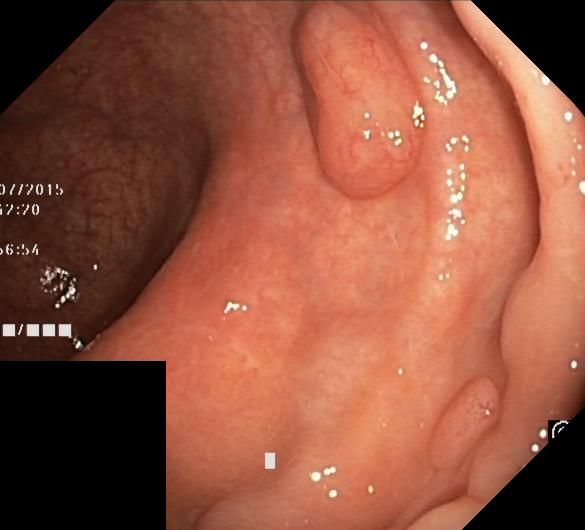Endoscopic frame of the lower GI tract showing colorectal polyp(s).